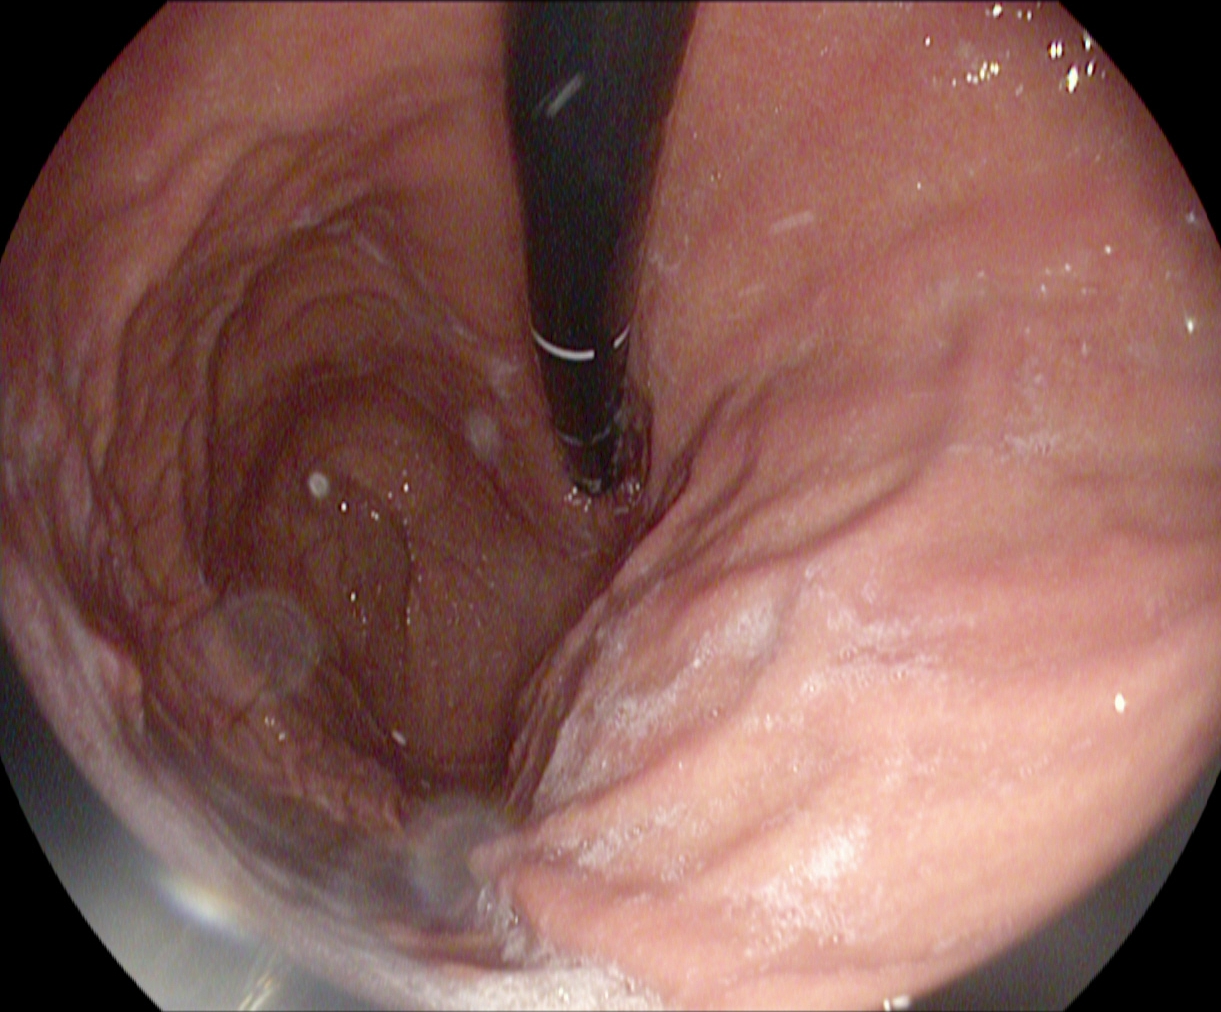Stomach in retroflexion.